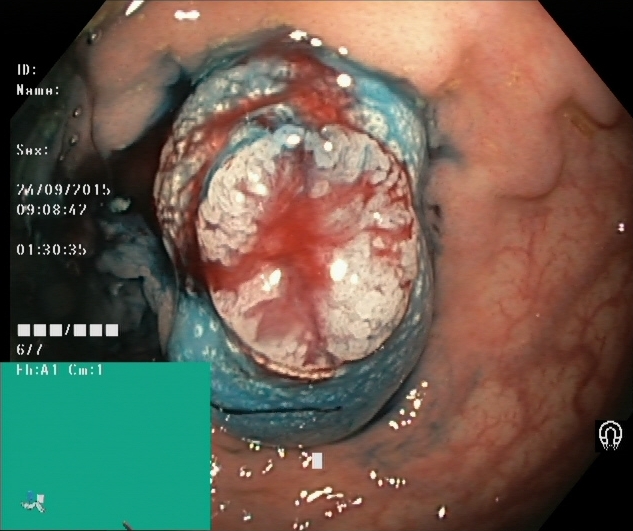modality: lower-GI endoscopy
finding: dyed and lifted polyp (pre-resection)